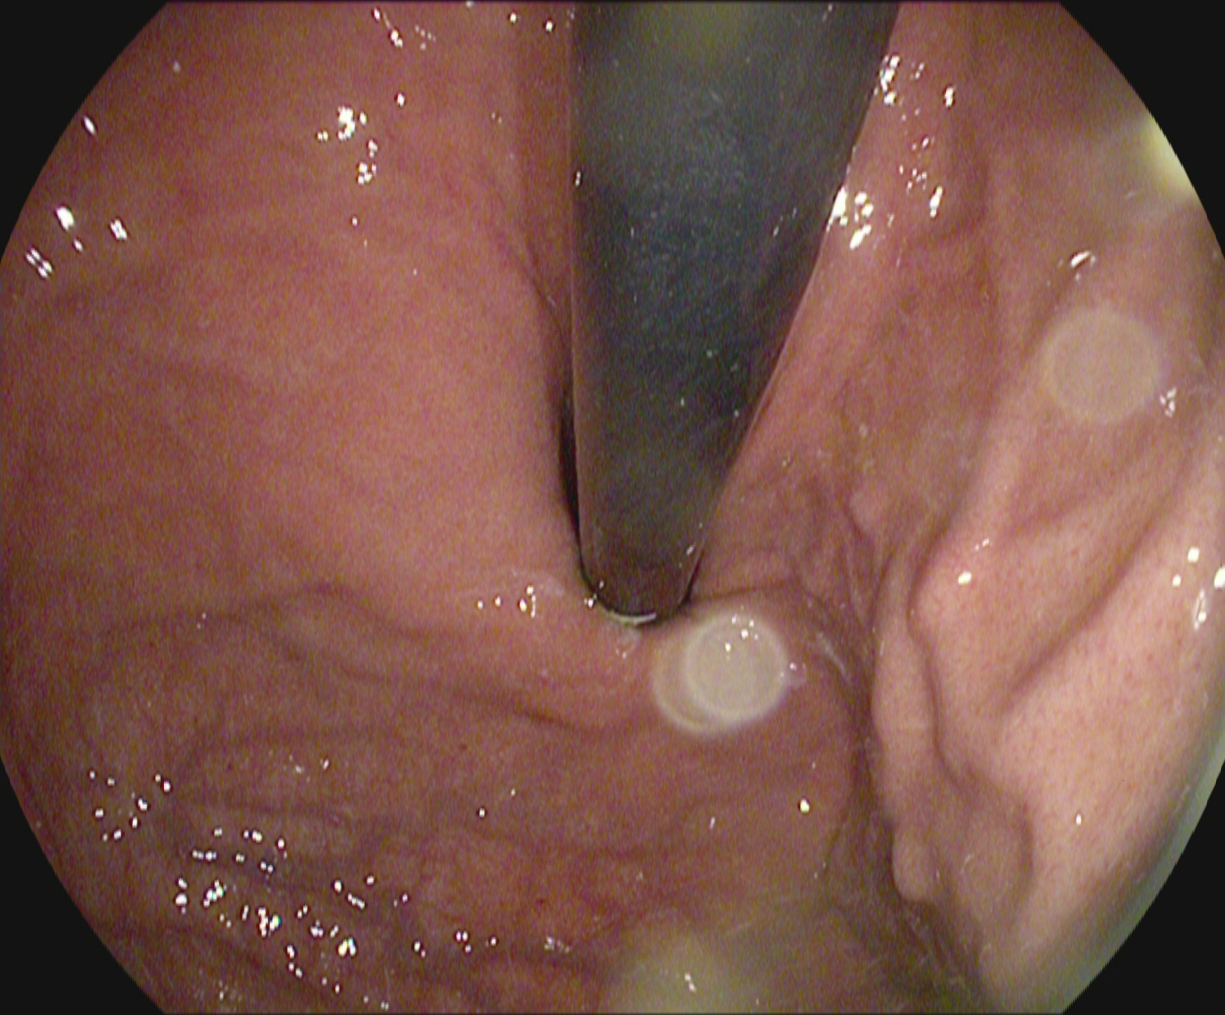Stomach in retroflexion.